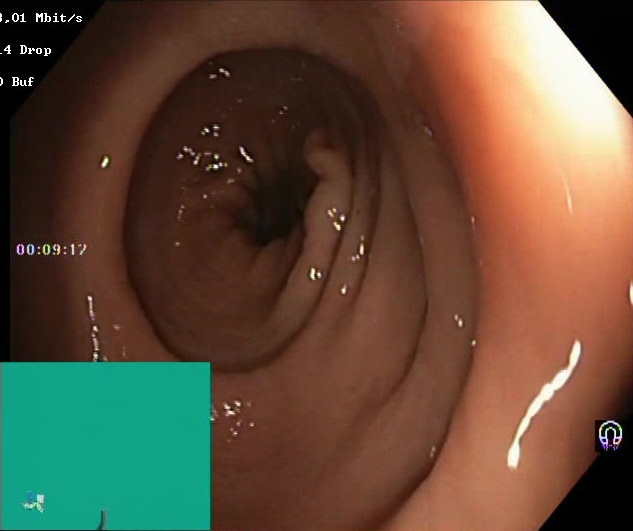Lower-GI endoscopy — Boston Bowel Preparation Scale score 2–3 (adequate preparation).